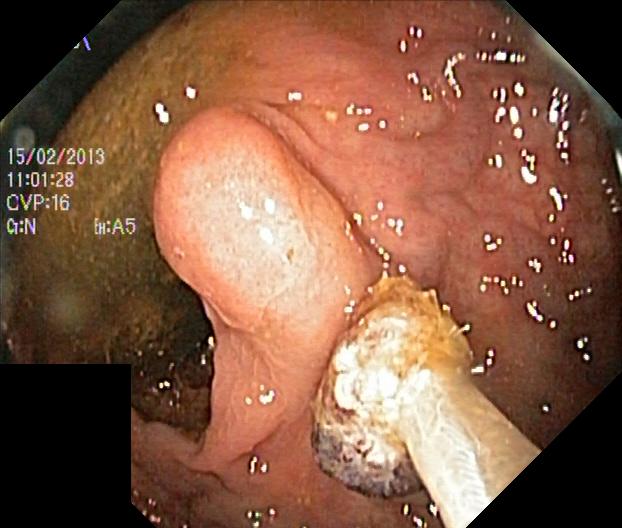{"modality": "lower-GI endoscopy", "finding": "colorectal polyp(s)"}